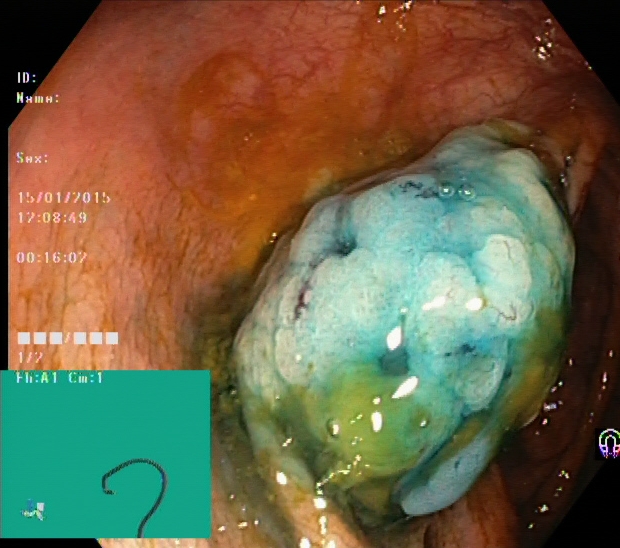Lower-GI endoscopy. Tract: lower GI tract. Therapeutic intervention. Finding: dyed and lifted polyp (pre-resection).